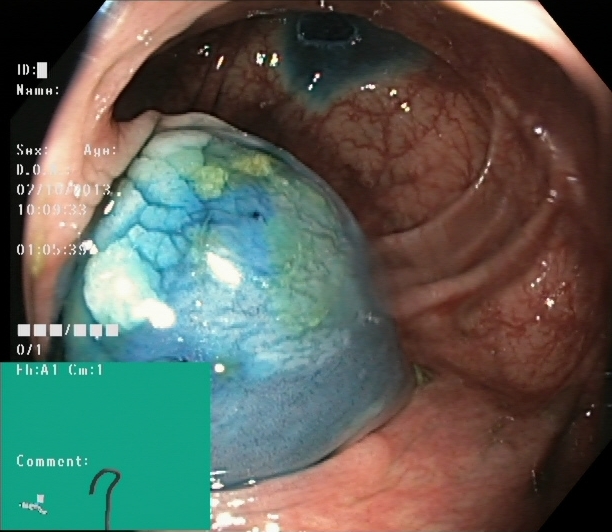This endoscopy frame of the lower GI tract shows dyed and lifted polyp (pre-resection).